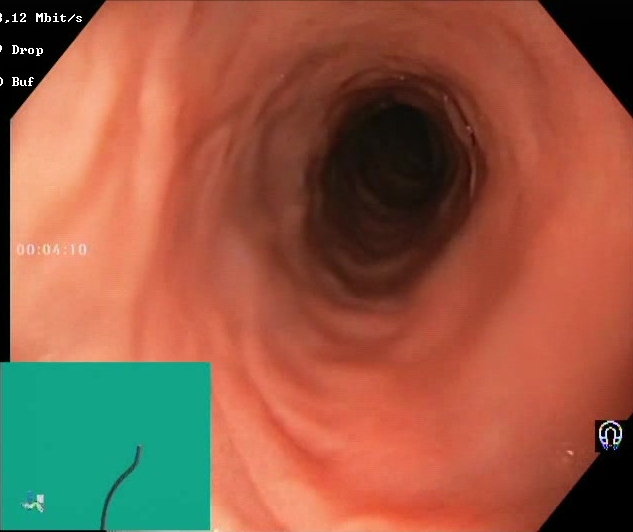BBPS score 2–3 (adequate preparation).